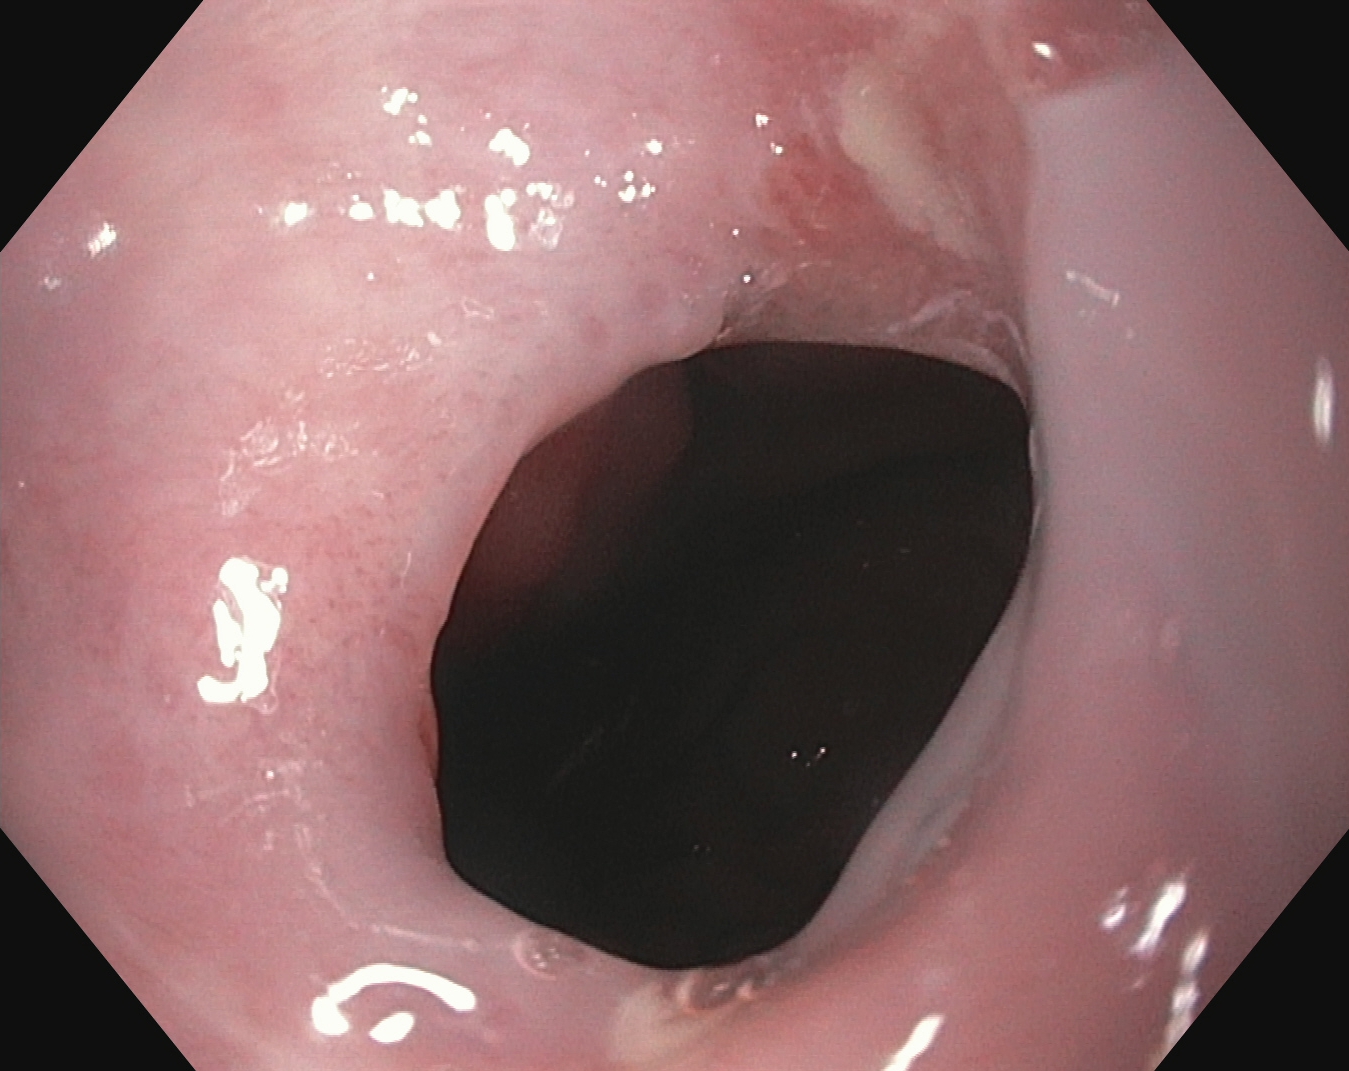Upper-GI endoscopy. Tract: upper GI tract. Finding: reflux esophagitis, LA grade A.